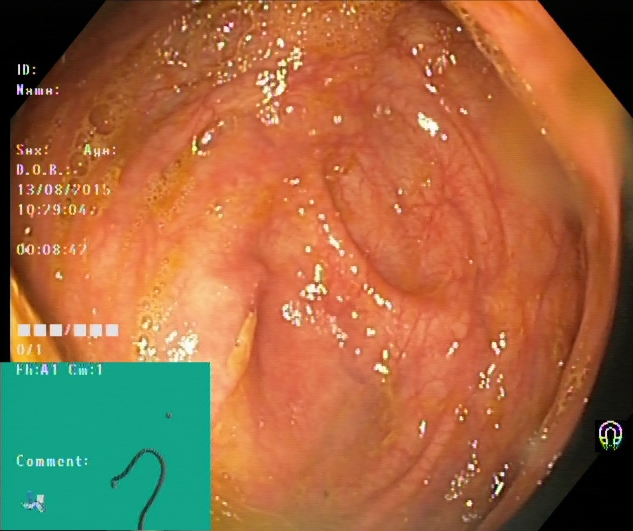This endoscopy frame shows cecum.